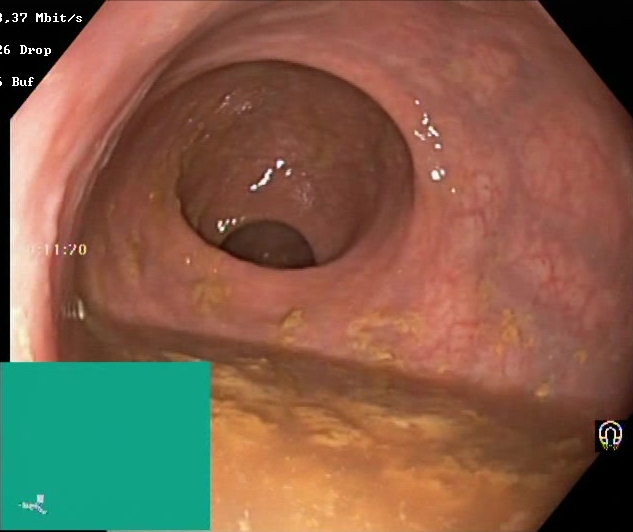Lower-GI endoscopy. Tract: lower GI tract. Finding: Boston Bowel Preparation Scale score 0–1 (inadequate preparation).